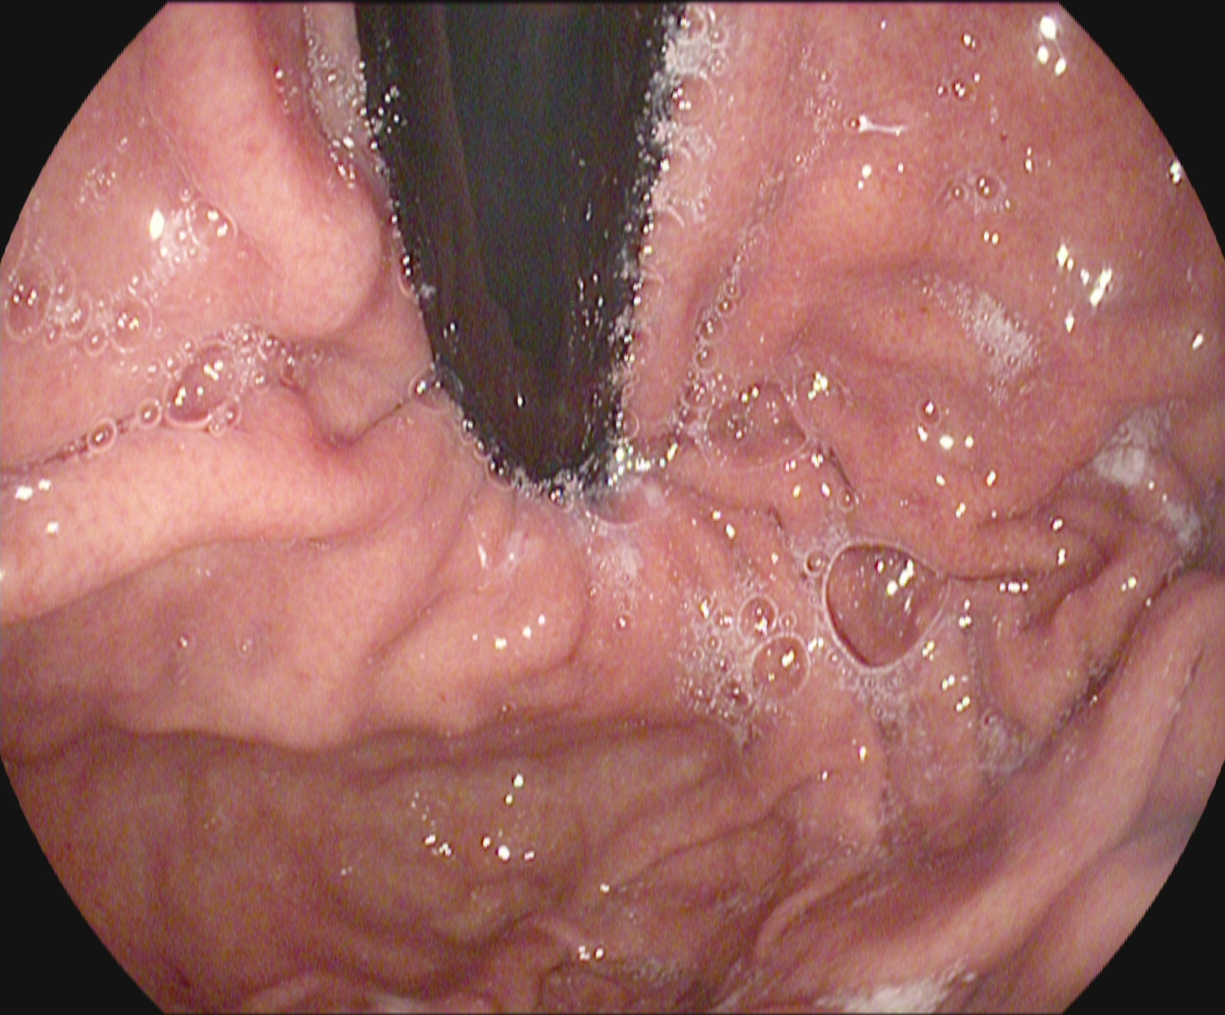Endoscopy image showing stomach in retroflexion.